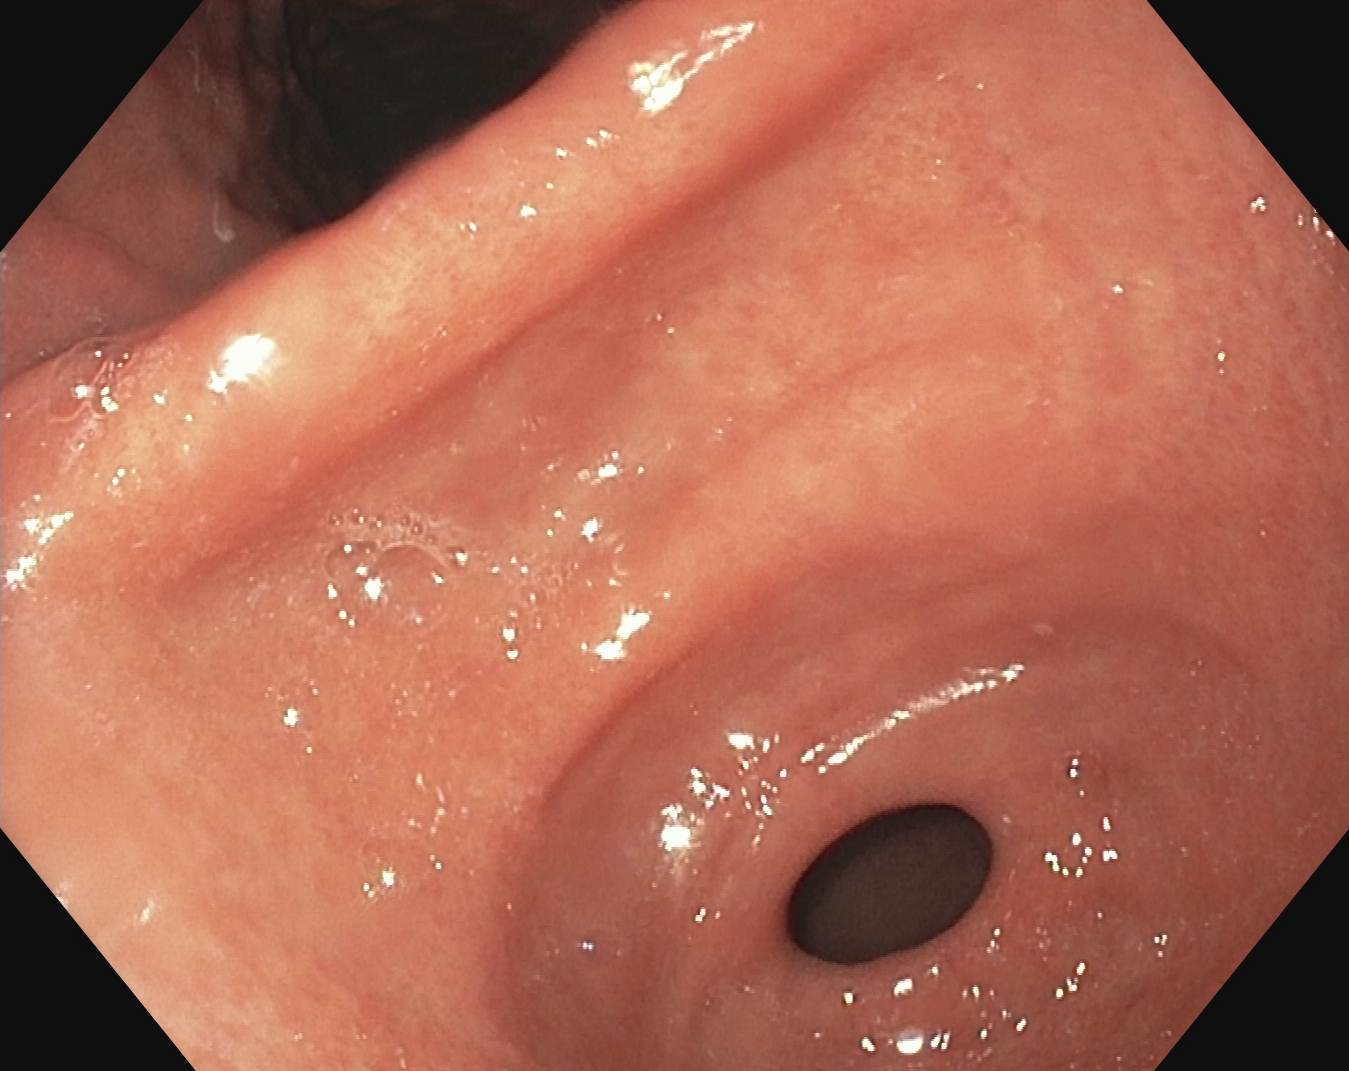{"modality": "EGD", "tract": "upper GI tract", "category": "anatomical landmark", "finding": "pylorus"}